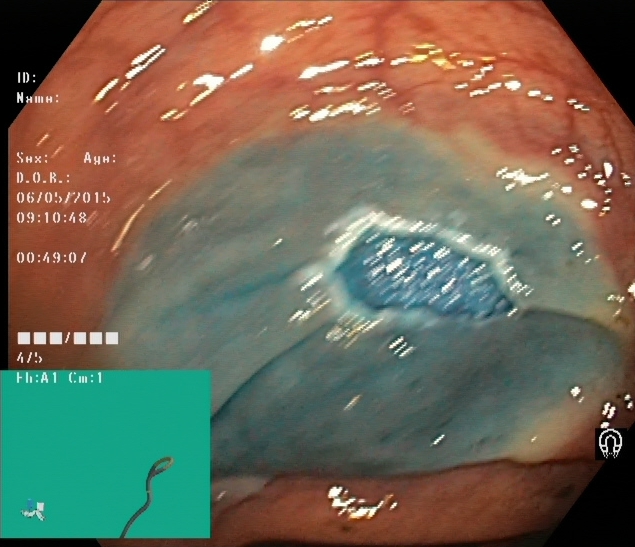PROCEDURE: Lower-GI endoscopy.
FINDINGS: Dyed resection margins (post-polypectomy).